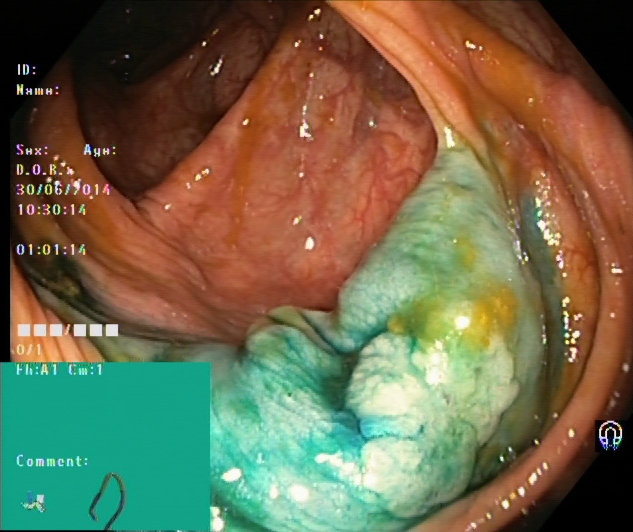Gastrointestinal endoscopy image showing dyed and lifted polyp (pre-resection).